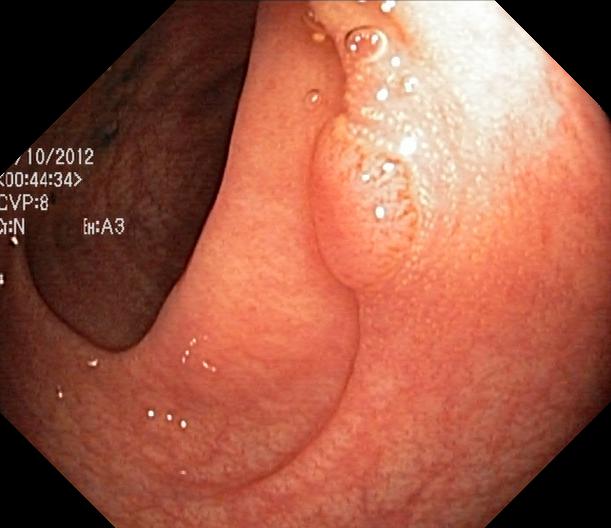Colorectal polyp(s).